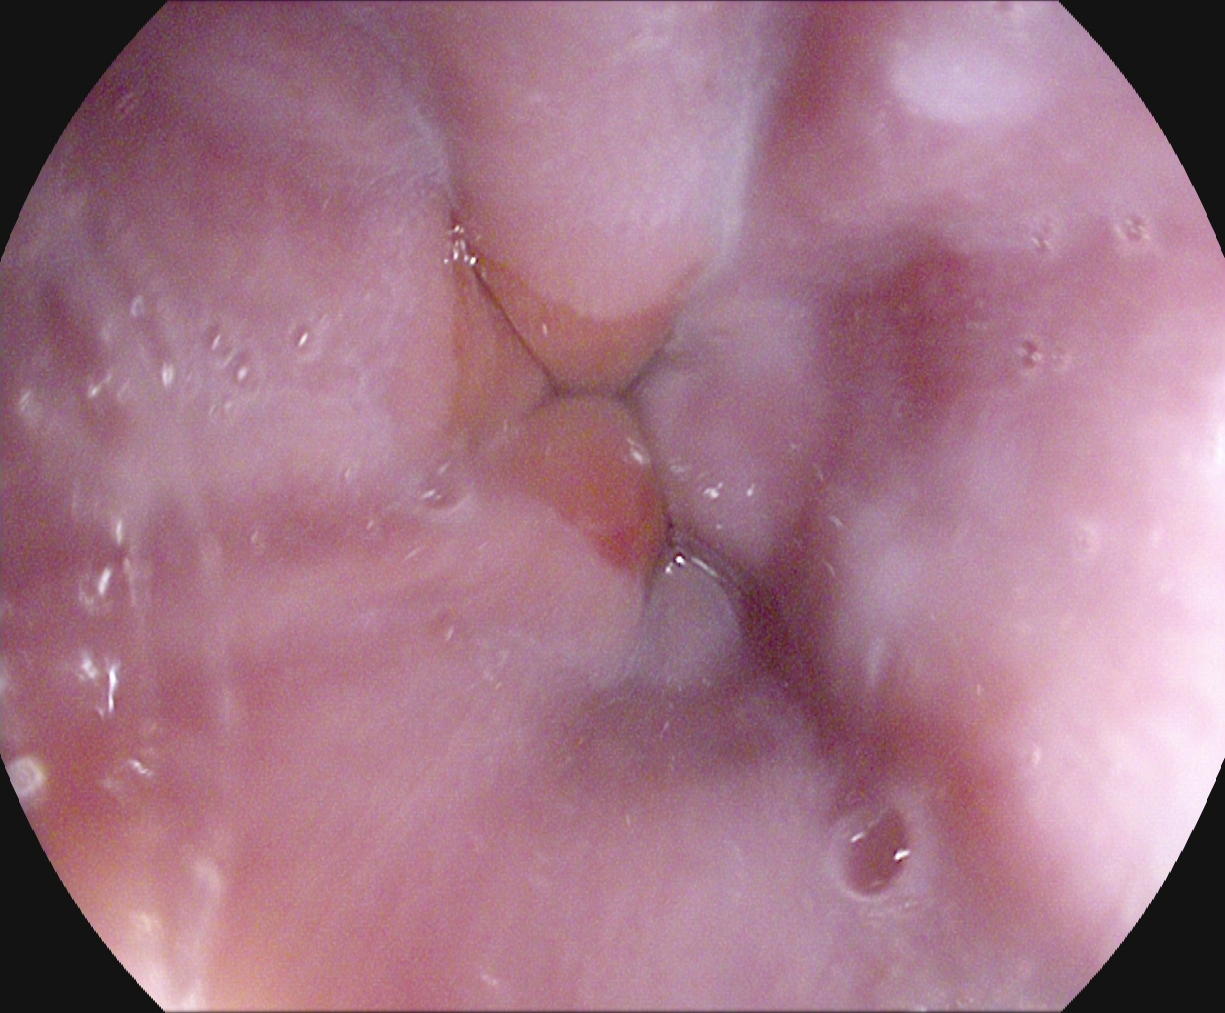EGD image of the upper GI tract showing Z-line (gastroesophageal junction).